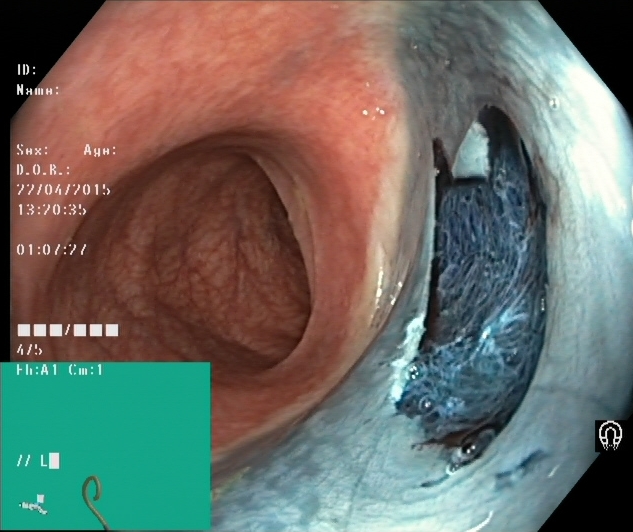This endoscopy frame of the lower GI tract shows dyed resection margins (post-polypectomy).